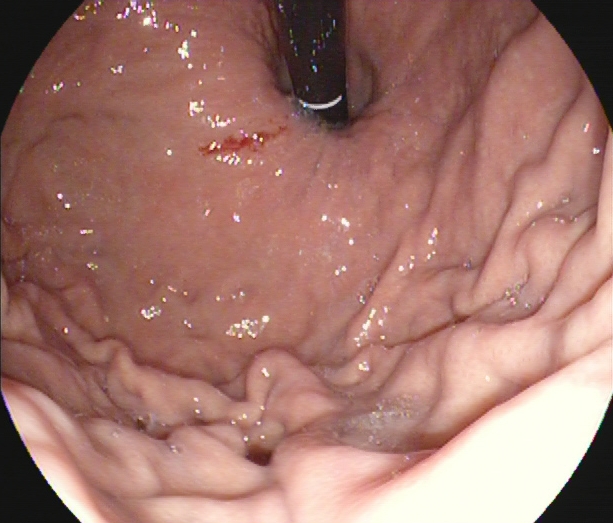This endoscopic image shows stomach in retroflexion.